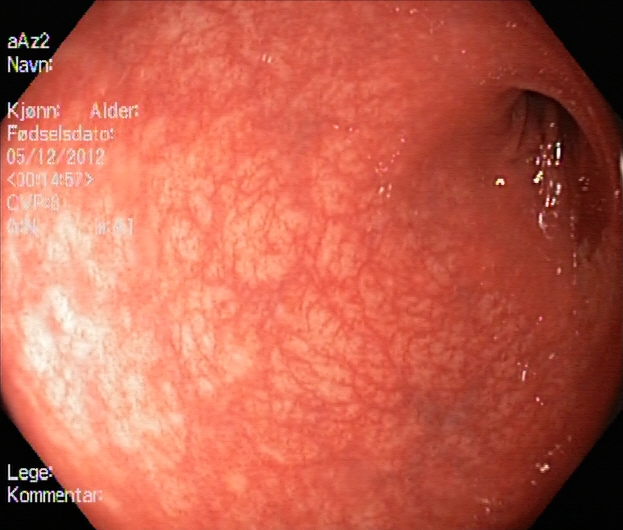This endoscopic image shows ulcerative colitis, Mayo endoscopic subscore 1.